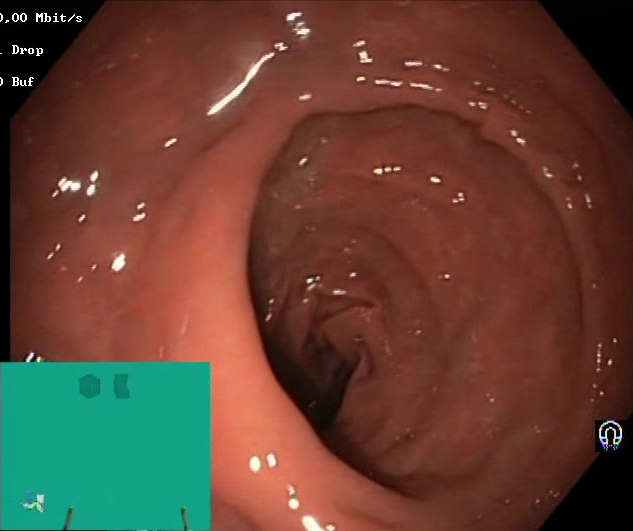Boston Bowel Preparation Scale score 2–3 (adequate preparation).